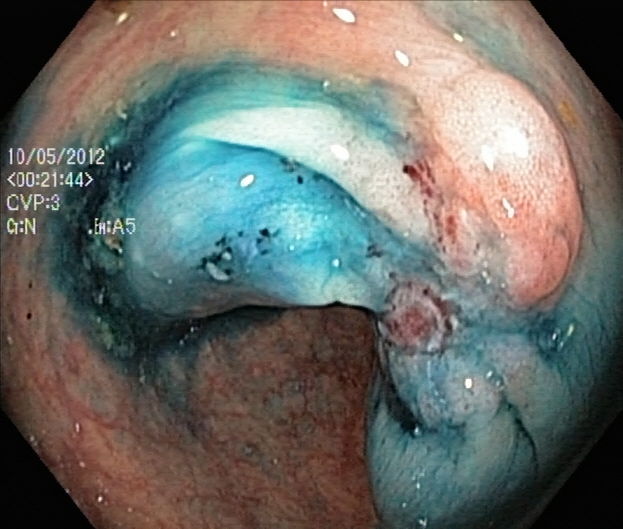This endoscopy frame of the lower GI tract shows dyed and lifted polyp (pre-resection).